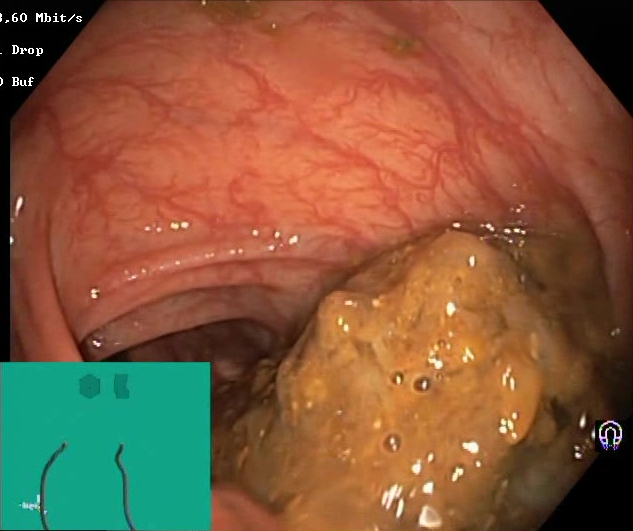{"modality": "colonoscopy", "category": "mucosal-view quality", "finding": "BBPS score 0\u20131 (inadequate preparation)"}